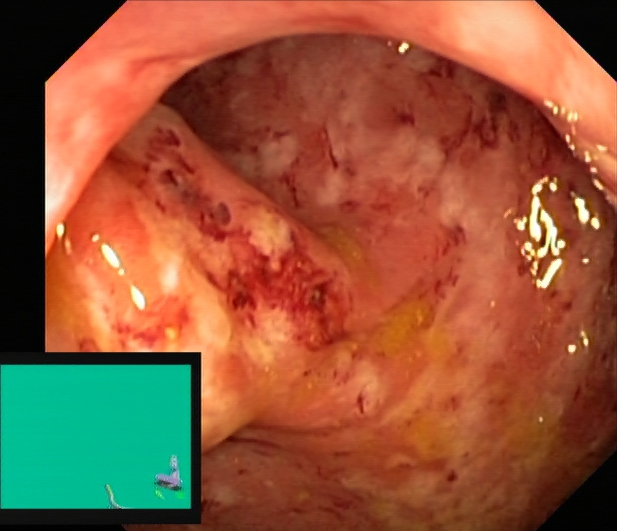Lower gastrointestinal endoscopy — UC, Mayo endoscopic subscore 2–3.